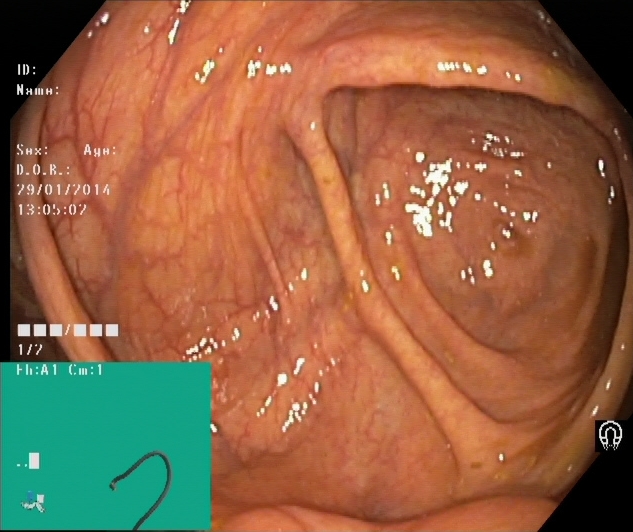PROCEDURE: Colonoscopy.
CATEGORY: Anatomical landmark.
FINDINGS: Cecum.